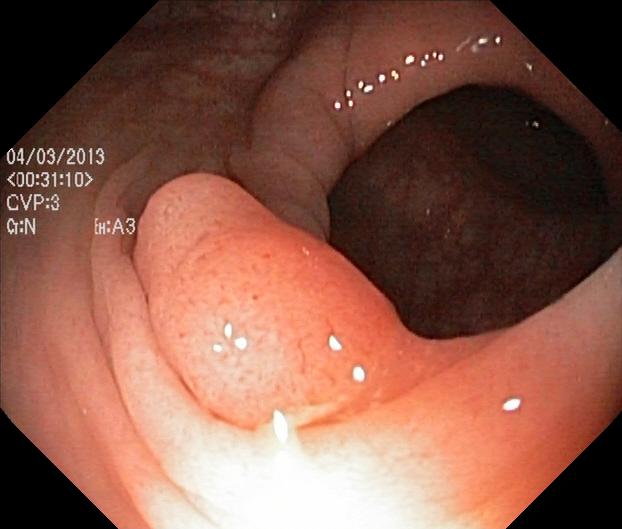modality: colonoscopy
tract: lower GI tract
finding: colorectal polyp(s)